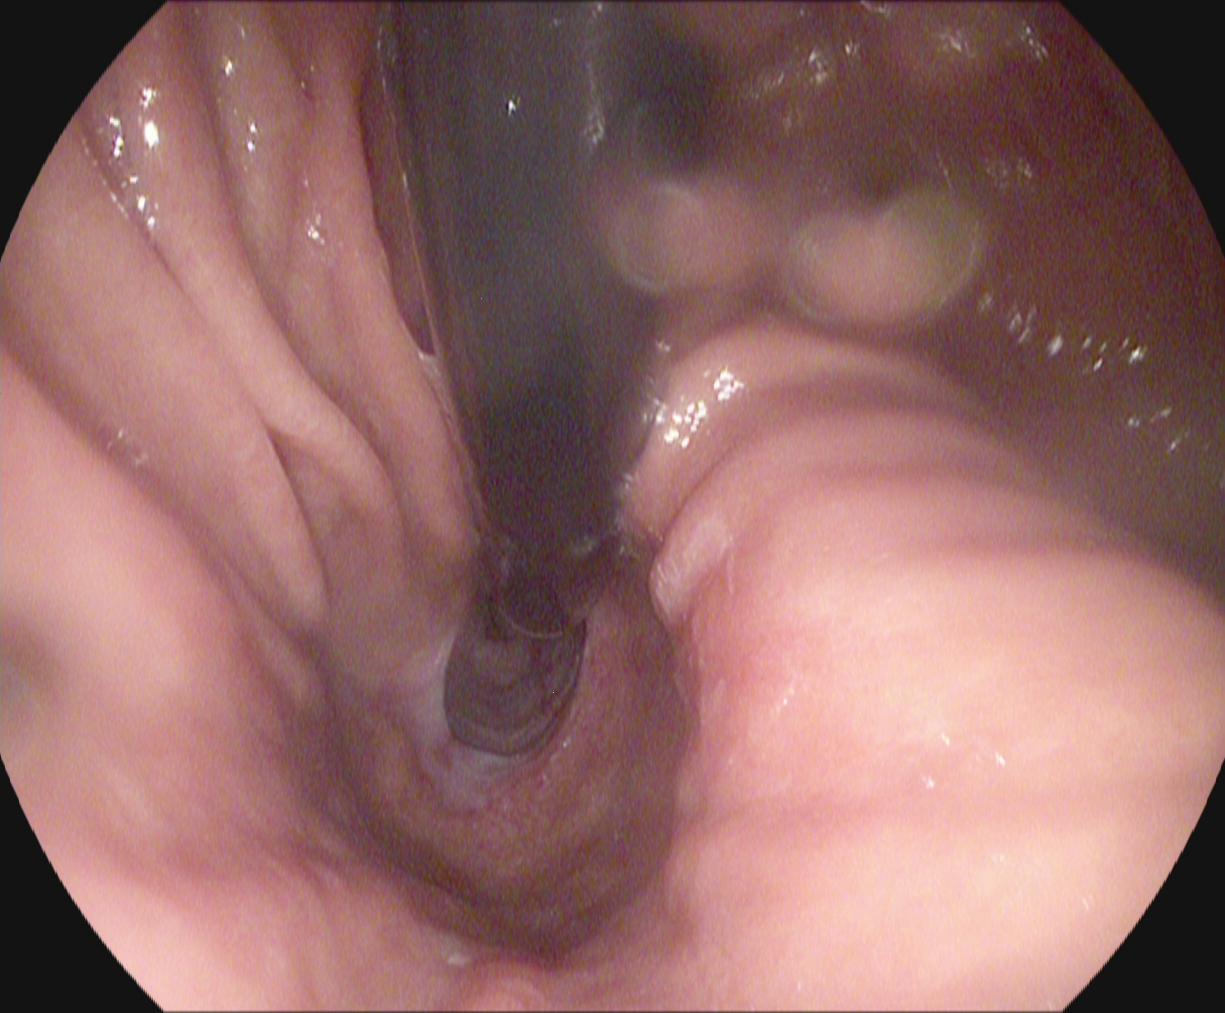stomach in retroflexion.